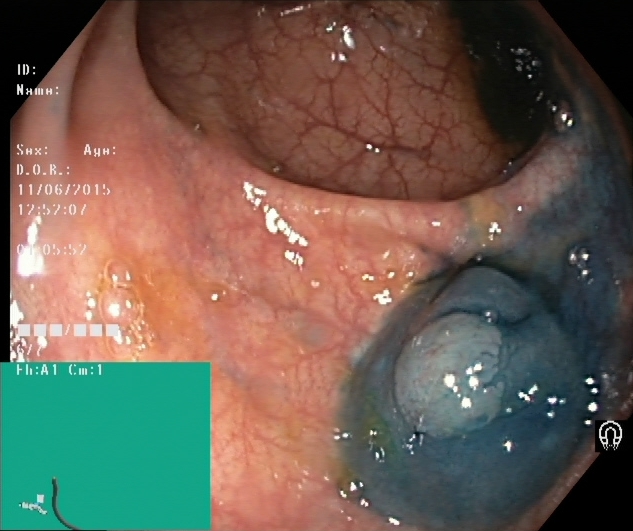Lower-GI endoscopy image showing dyed and lifted polyp (pre-resection).